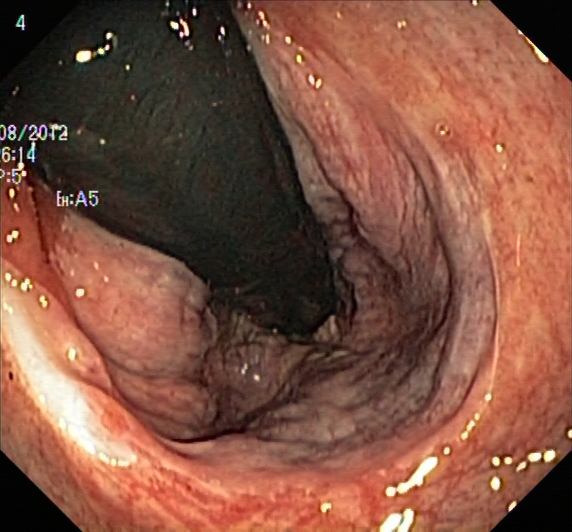Lower-GI endoscopy. Anatomical landmark. Finding: rectum in retroflexion.